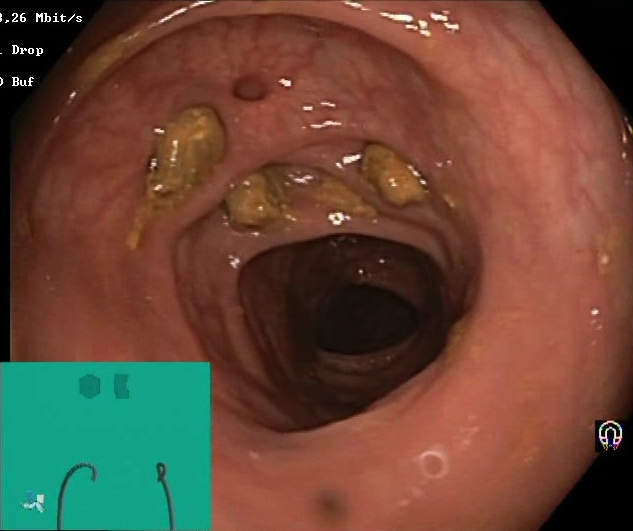Lower gastrointestinal endoscopy. Tract: lower GI tract. Mucosal-view quality. Finding: impacted stool.